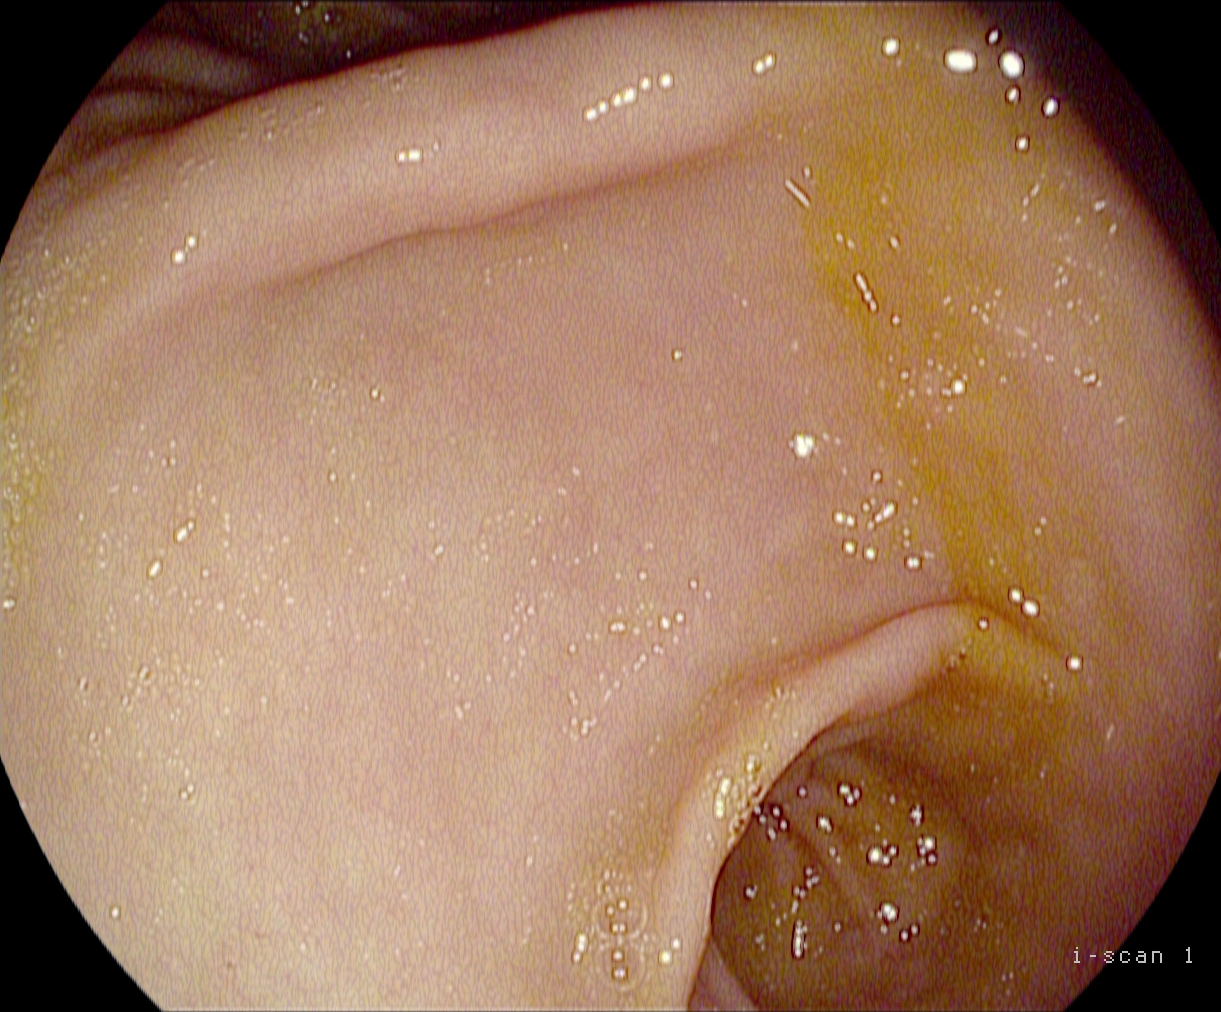modality: esophagogastroduodenoscopy
finding: pylorus